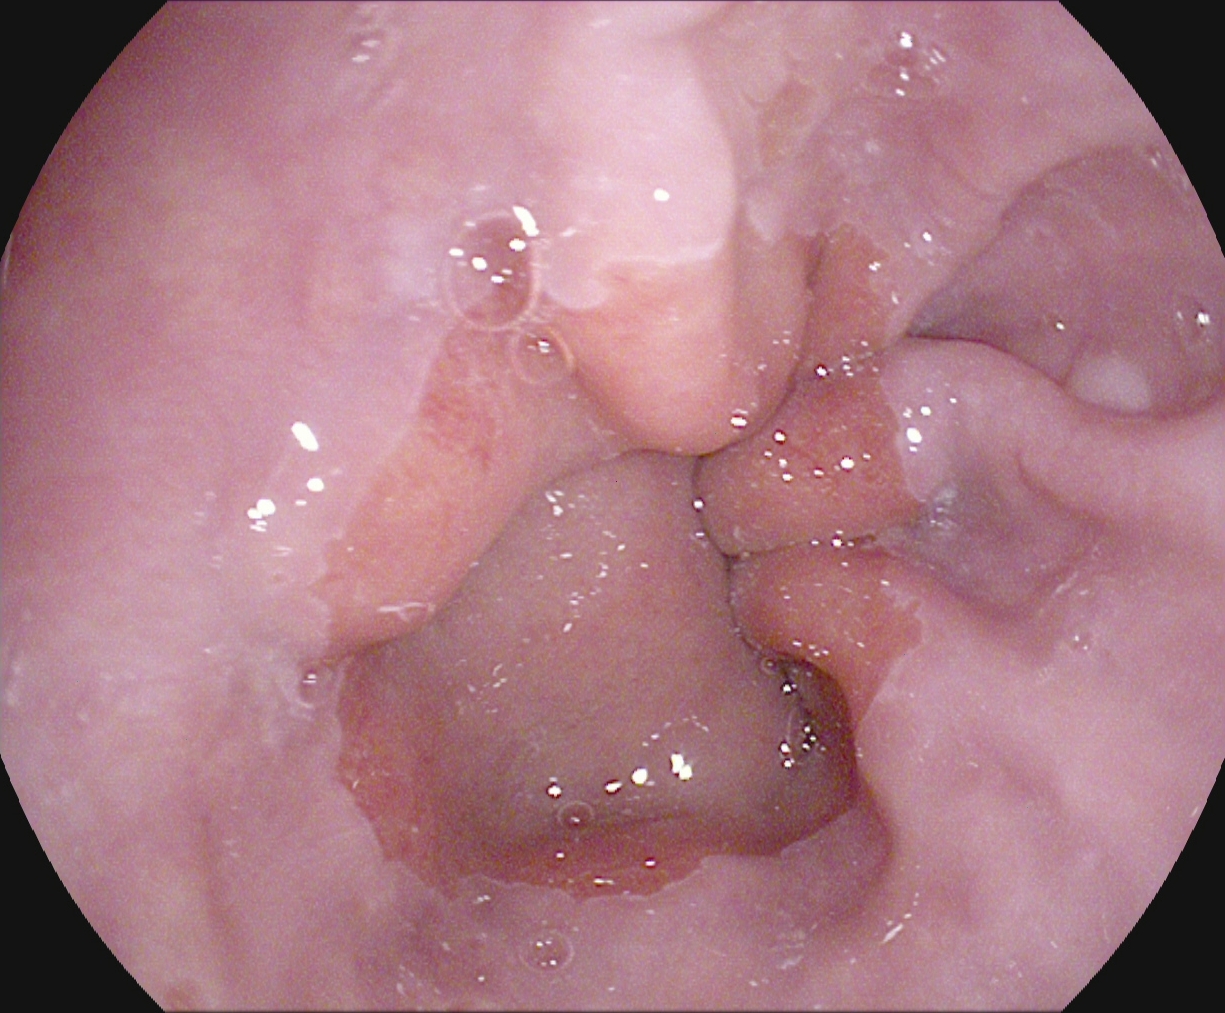PROCEDURE: Upper-GI endoscopy.
FINDINGS: Z-line (gastroesophageal junction).